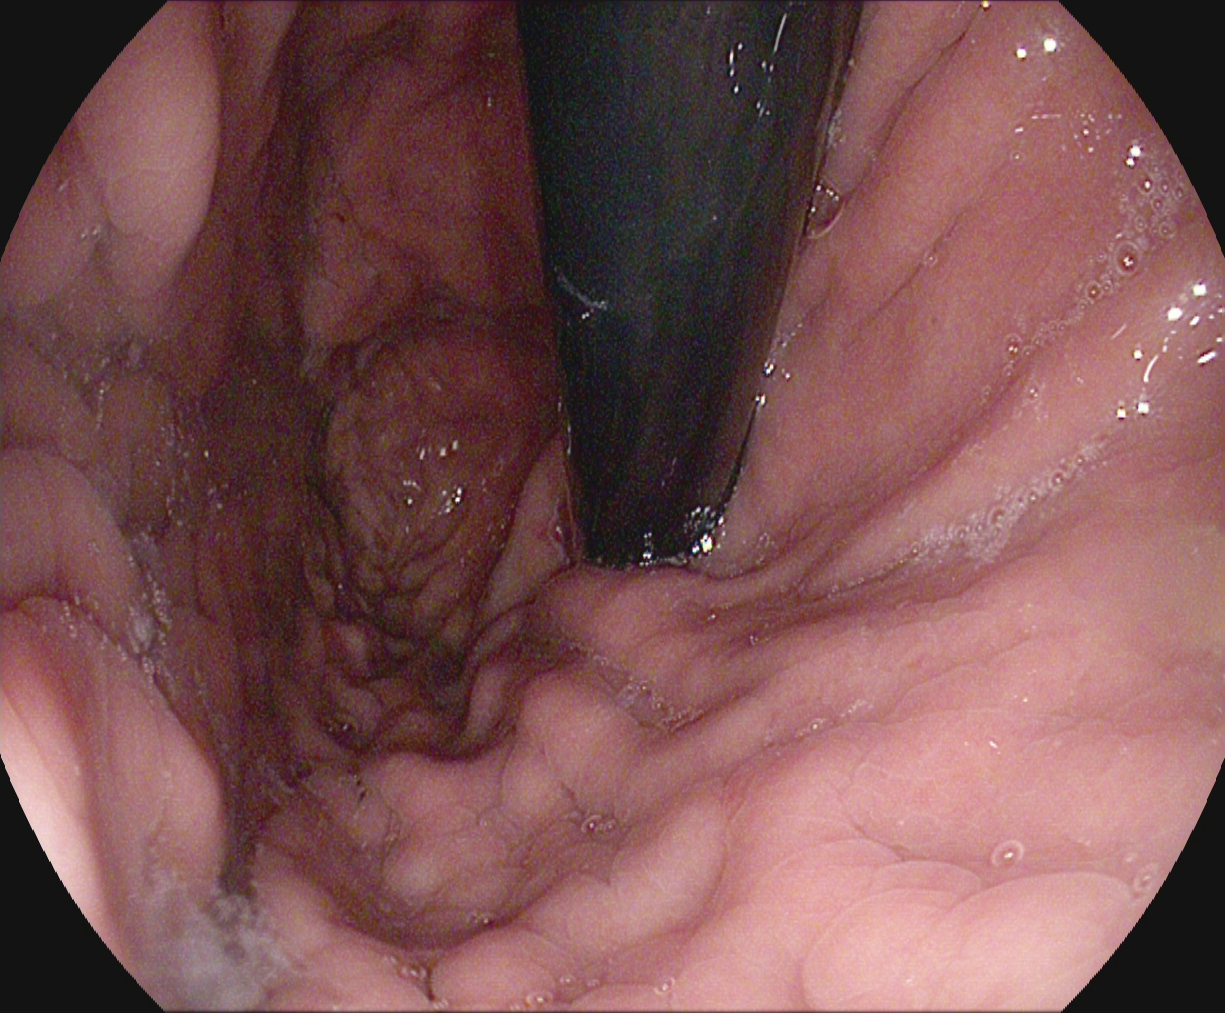This endoscopy frame shows stomach in retroflexion.